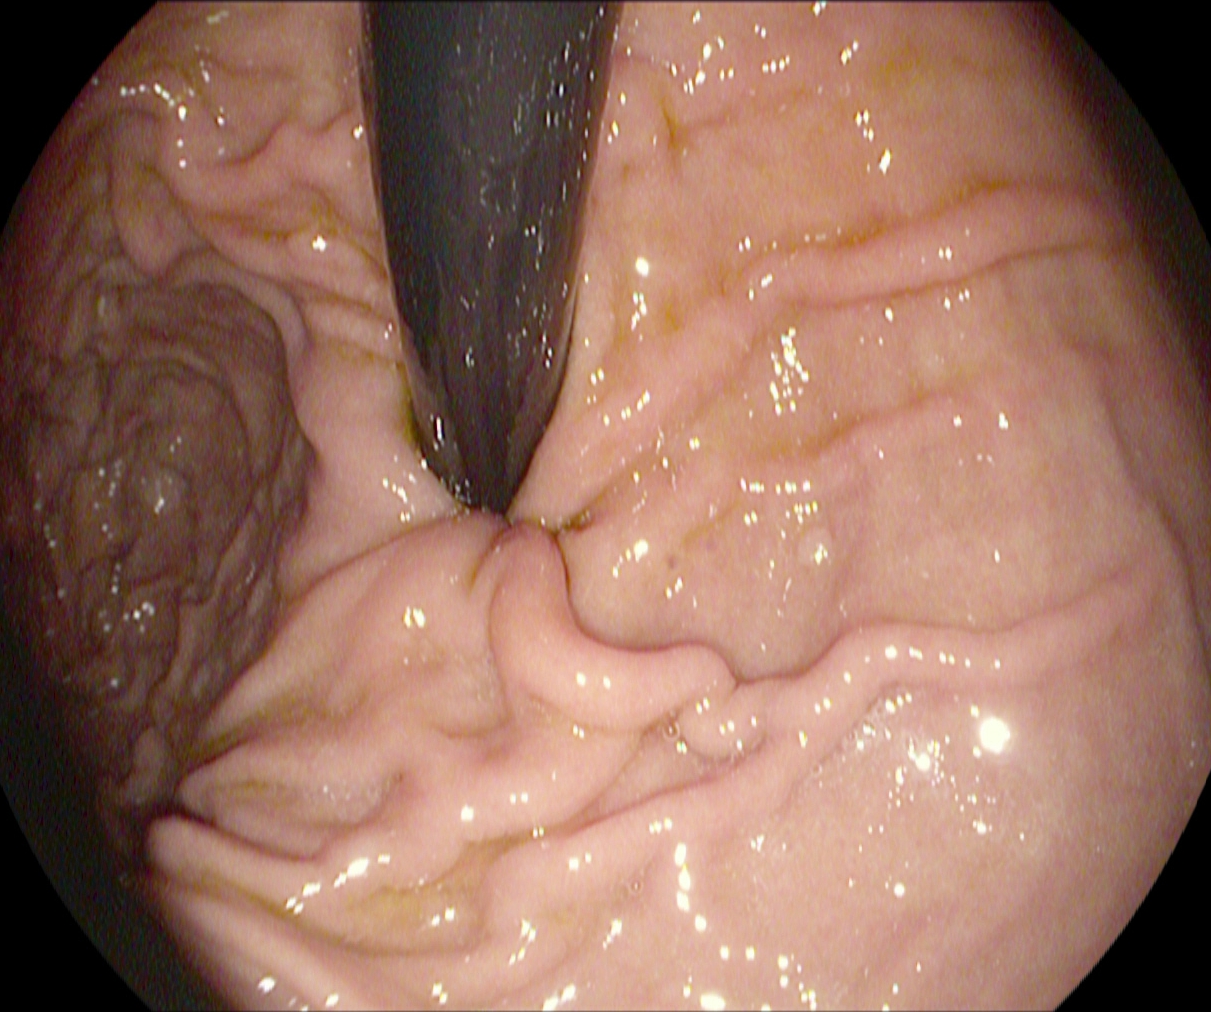modality: upper-GI endoscopy; finding: stomach in retroflexion